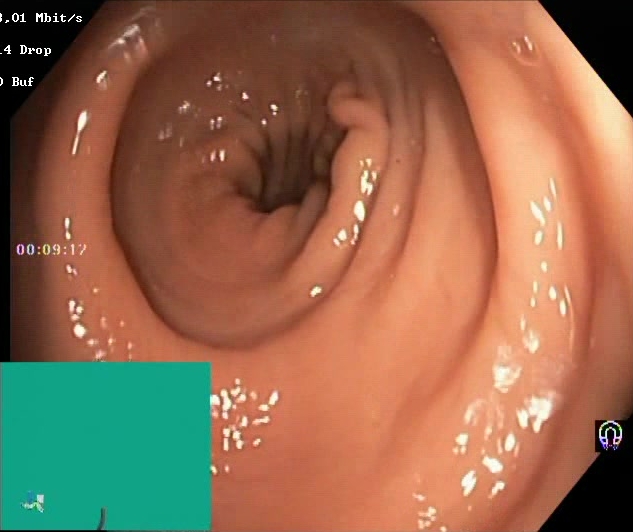Lower gastrointestinal endoscopy. Mucosal-view quality. Finding: Boston Bowel Preparation Scale score 2–3 (adequate preparation).